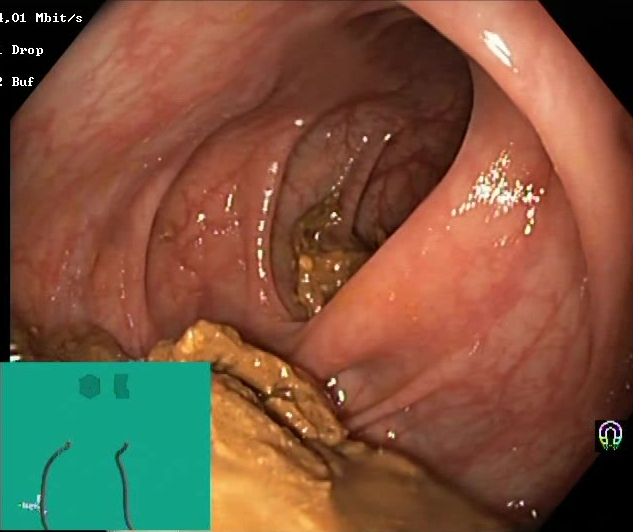{"modality": "lower gastrointestinal endoscopy", "tract": "lower GI tract", "category": "mucosal-view quality", "finding": "Boston Bowel Preparation Scale score 0\u20131 (inadequate preparation)"}